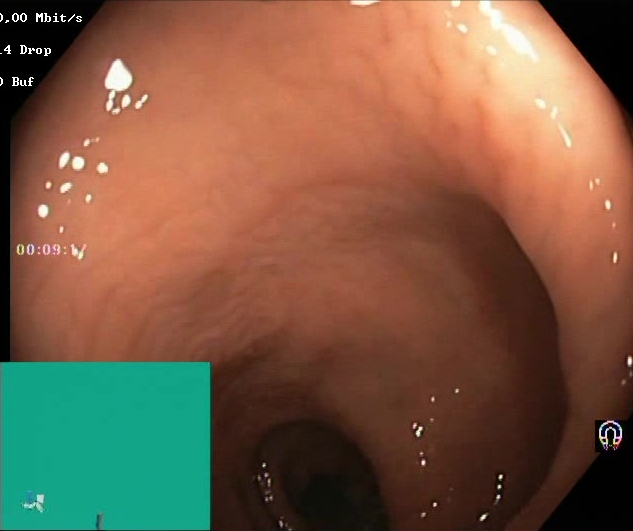{"modality": "lower-GI endoscopy", "tract": "lower GI tract", "finding": "Boston Bowel Preparation Scale score 2\u20133 (adequate preparation)"}